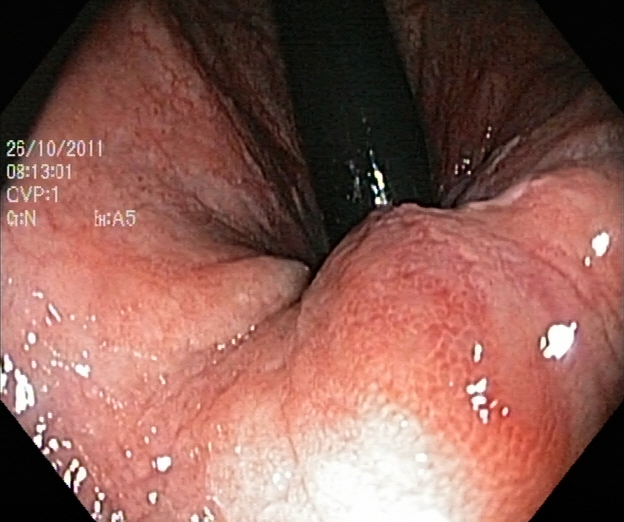Endoscopy image of the lower GI tract showing rectum in retroflexion.